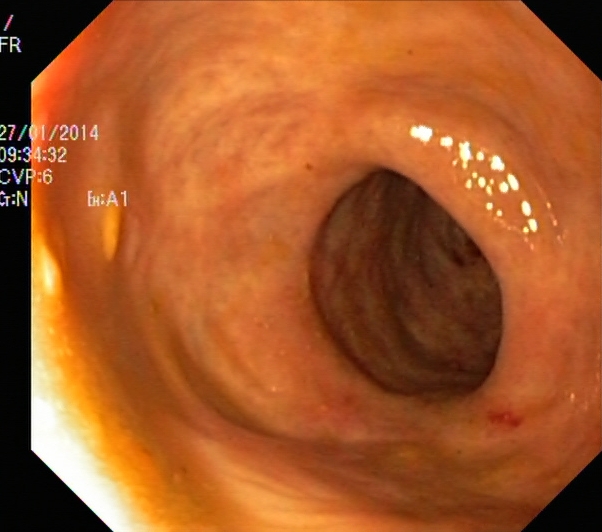modality: lower gastrointestinal endoscopy; tract: lower GI tract; finding: ulcerative colitis, Mayo endoscopic subscore 2